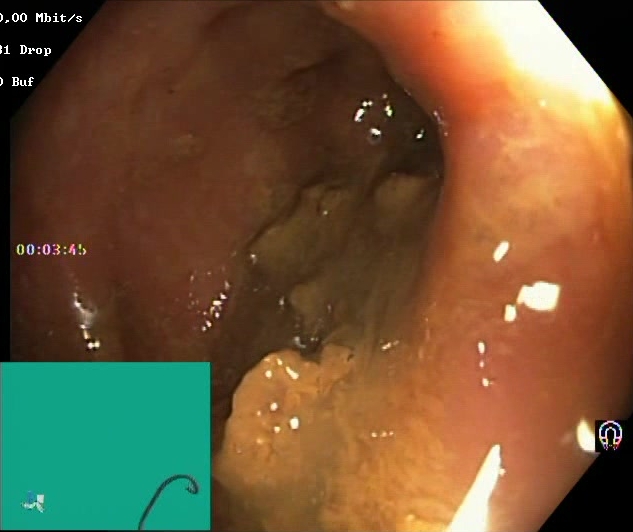Boston Bowel Preparation Scale score 0–1 (inadequate preparation).